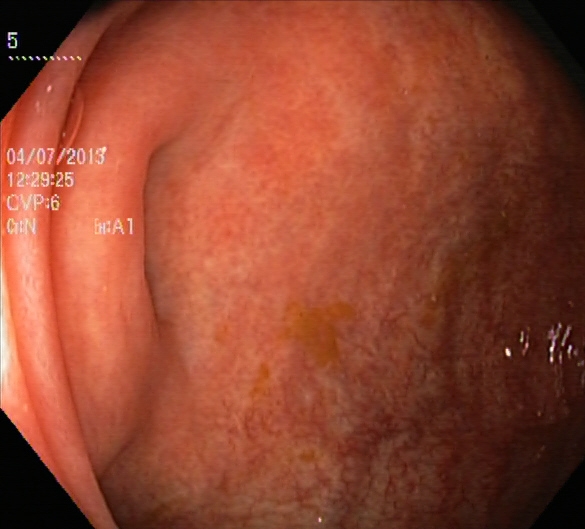Endoscopic image showing ulcerative colitis, Mayo endoscopic subscore 1.